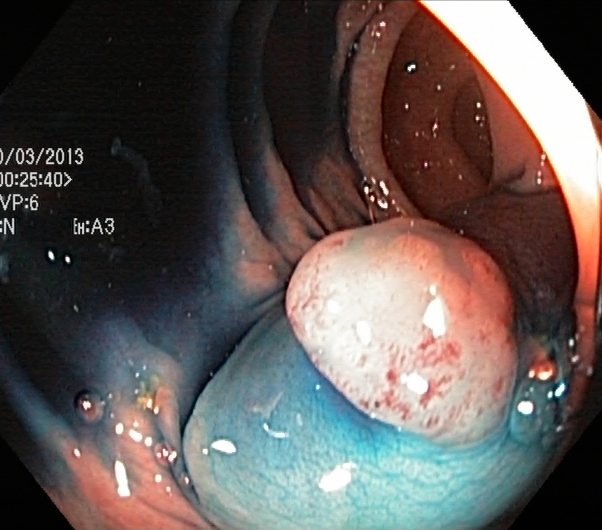PROCEDURE: Lower gastrointestinal endoscopy.
CATEGORY: Therapeutic intervention.
FINDINGS: Dyed and lifted polyp (pre-resection).